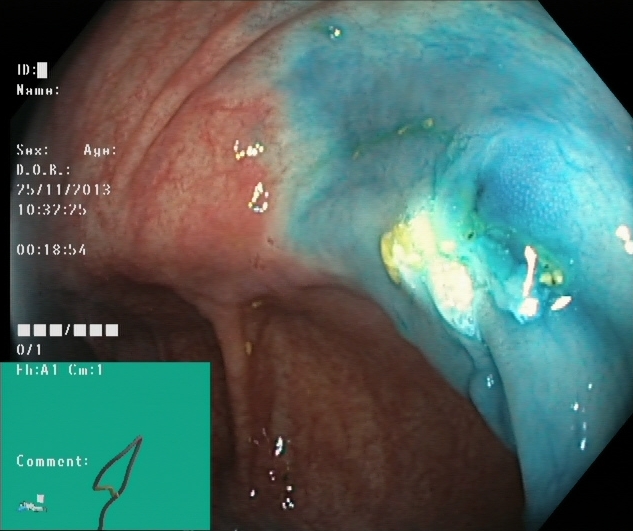modality: lower gastrointestinal endoscopy
tract: lower GI tract
category: therapeutic intervention
finding: dyed and lifted polyp (pre-resection)